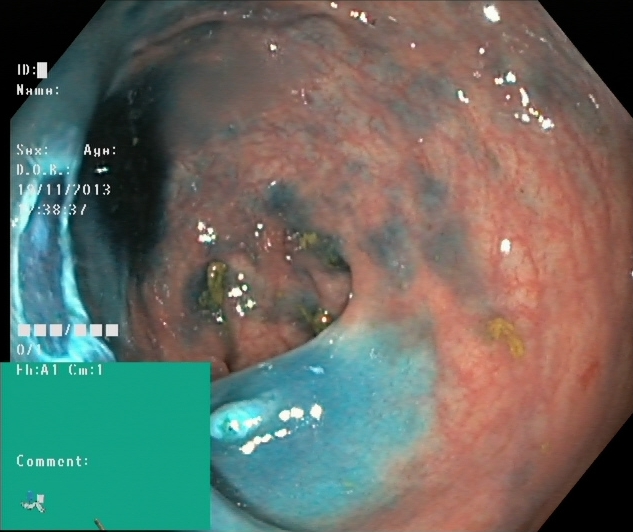GI endoscopy image showing dyed resection margins (post-polypectomy).